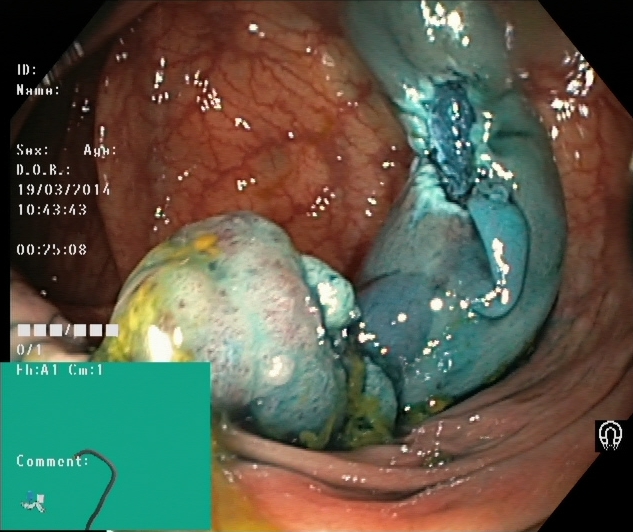modality: lower gastrointestinal endoscopy; finding: dyed resection margins (post-polypectomy)